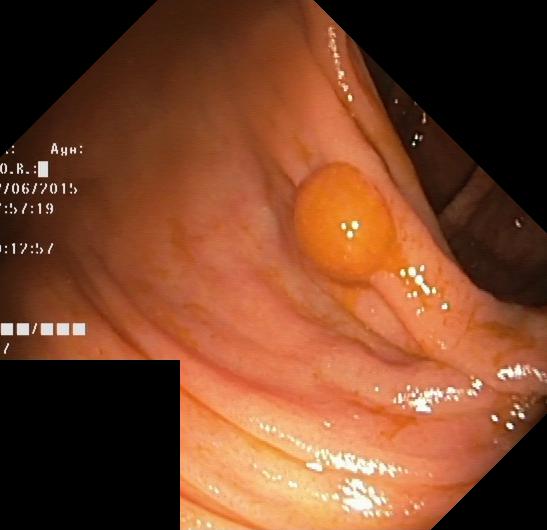Colorectal polyp(s).